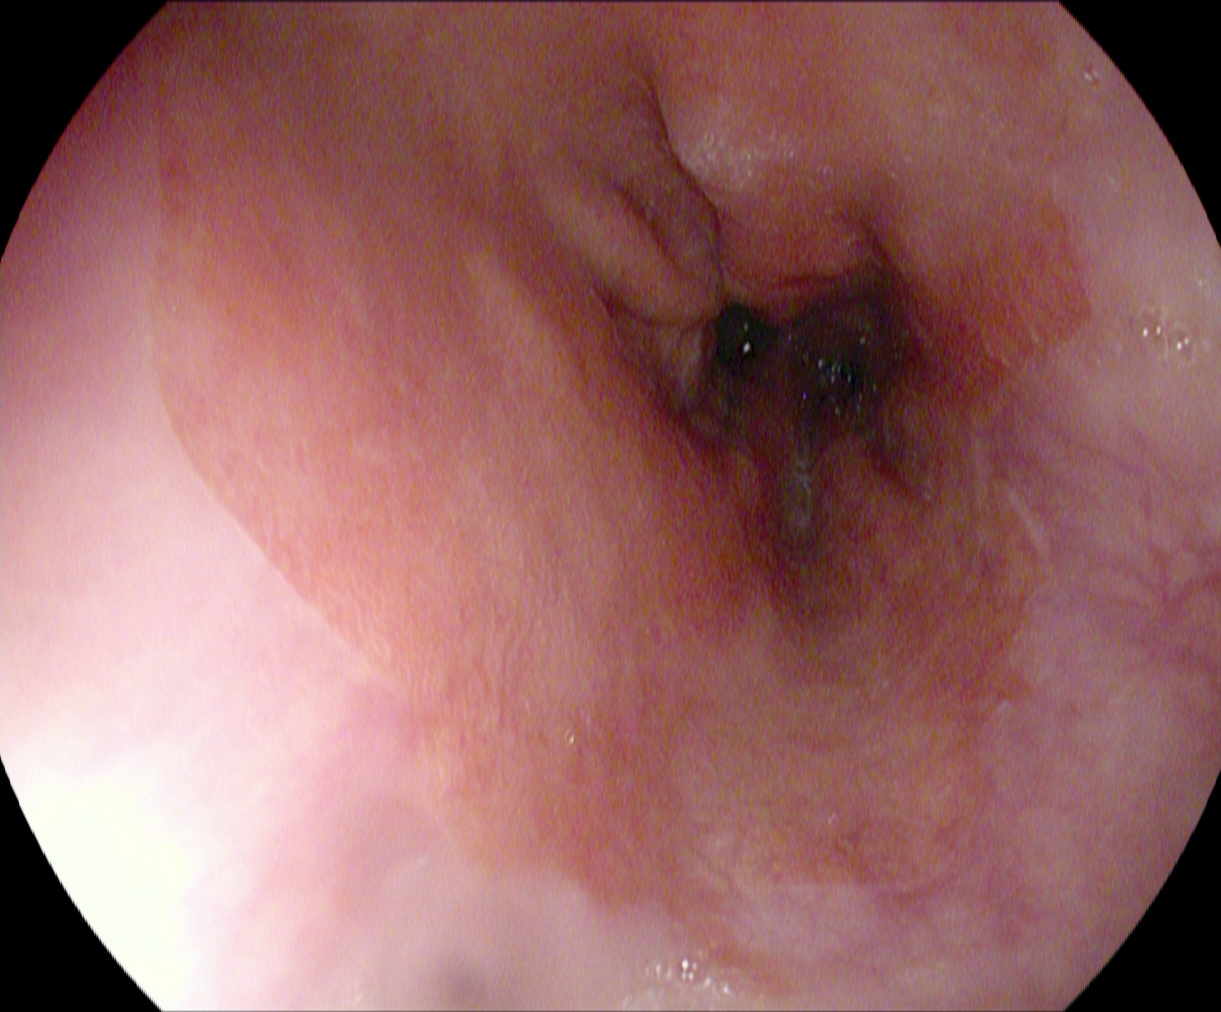modality: esophagogastroduodenoscopy; tract: upper GI tract; category: anatomical landmark; finding: Z-line (gastroesophageal junction)